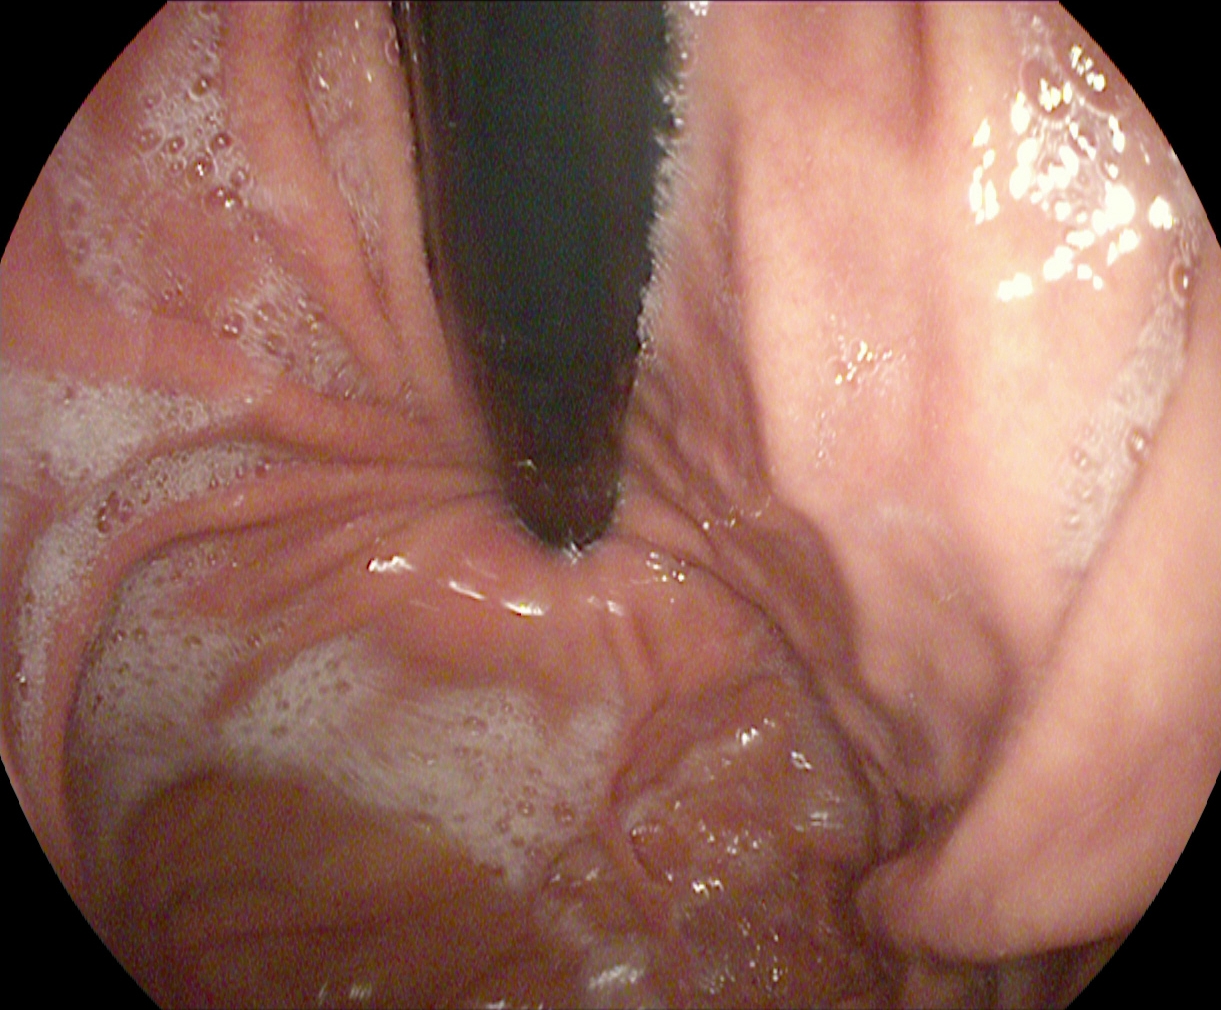Gastroscopy — stomach in retroflexion.